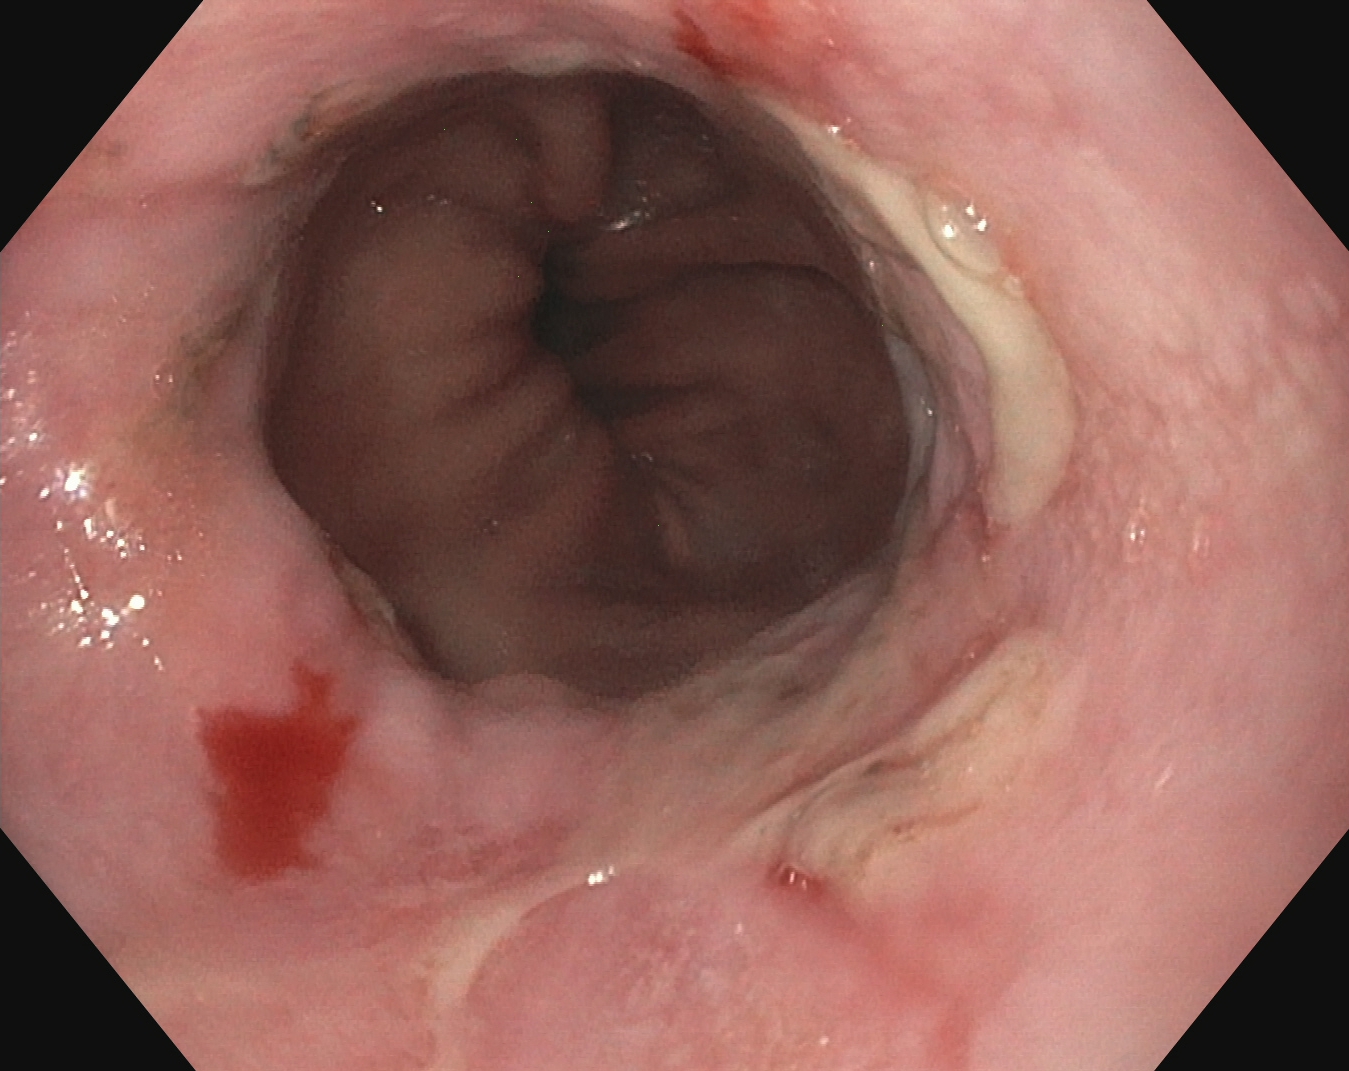Reflux esophagitis, LA grade B–D.